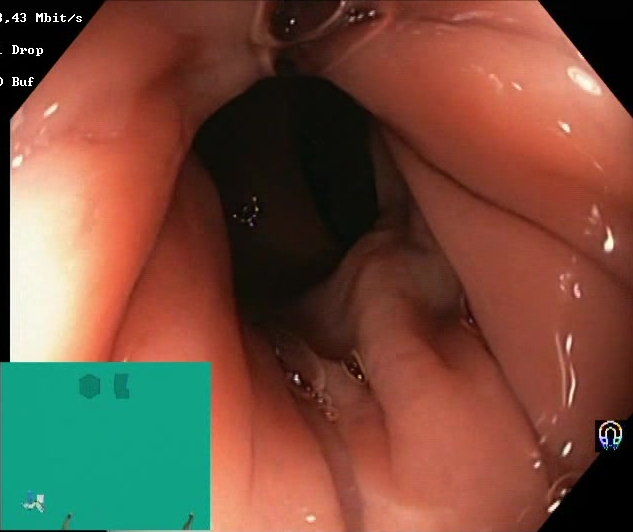{"modality": "lower gastrointestinal endoscopy", "finding": "Boston Bowel Preparation Scale score 2\u20133 (adequate preparation)"}